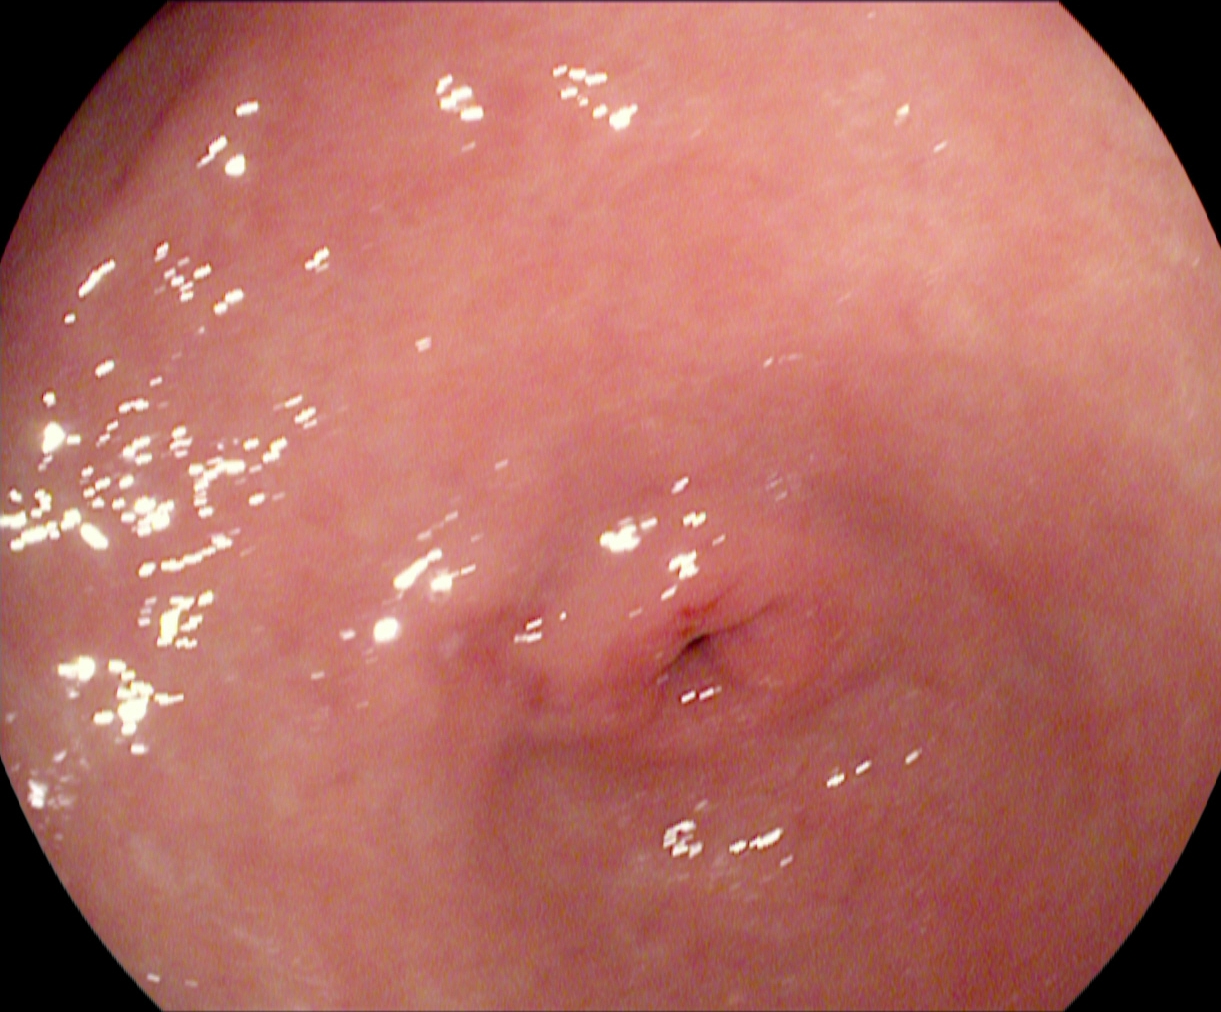Gastroscopy. Tract: upper GI tract. Anatomical landmark. Finding: pylorus.